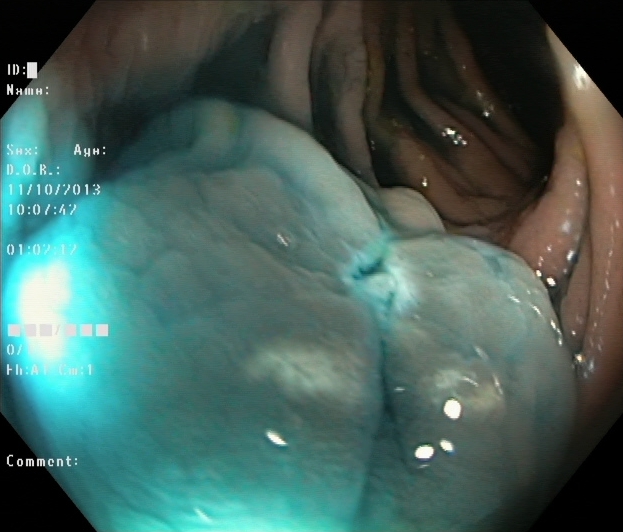{"modality": "lower-GI endoscopy", "tract": "lower GI tract", "finding": "dyed resection margins (post-polypectomy)"}